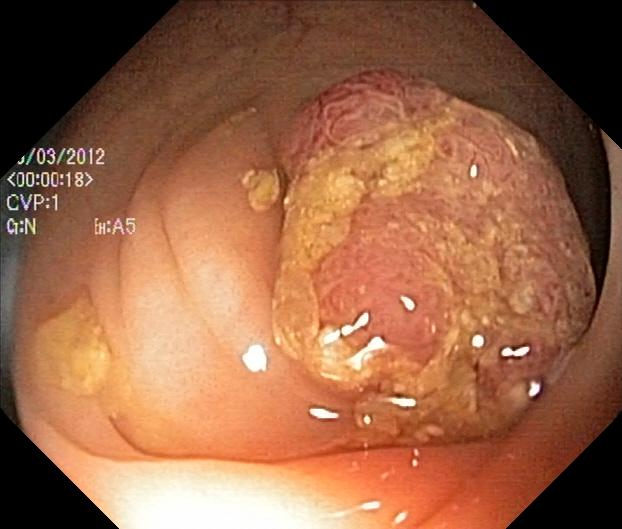Endoscopy image of the lower GI tract showing colorectal polyp(s).